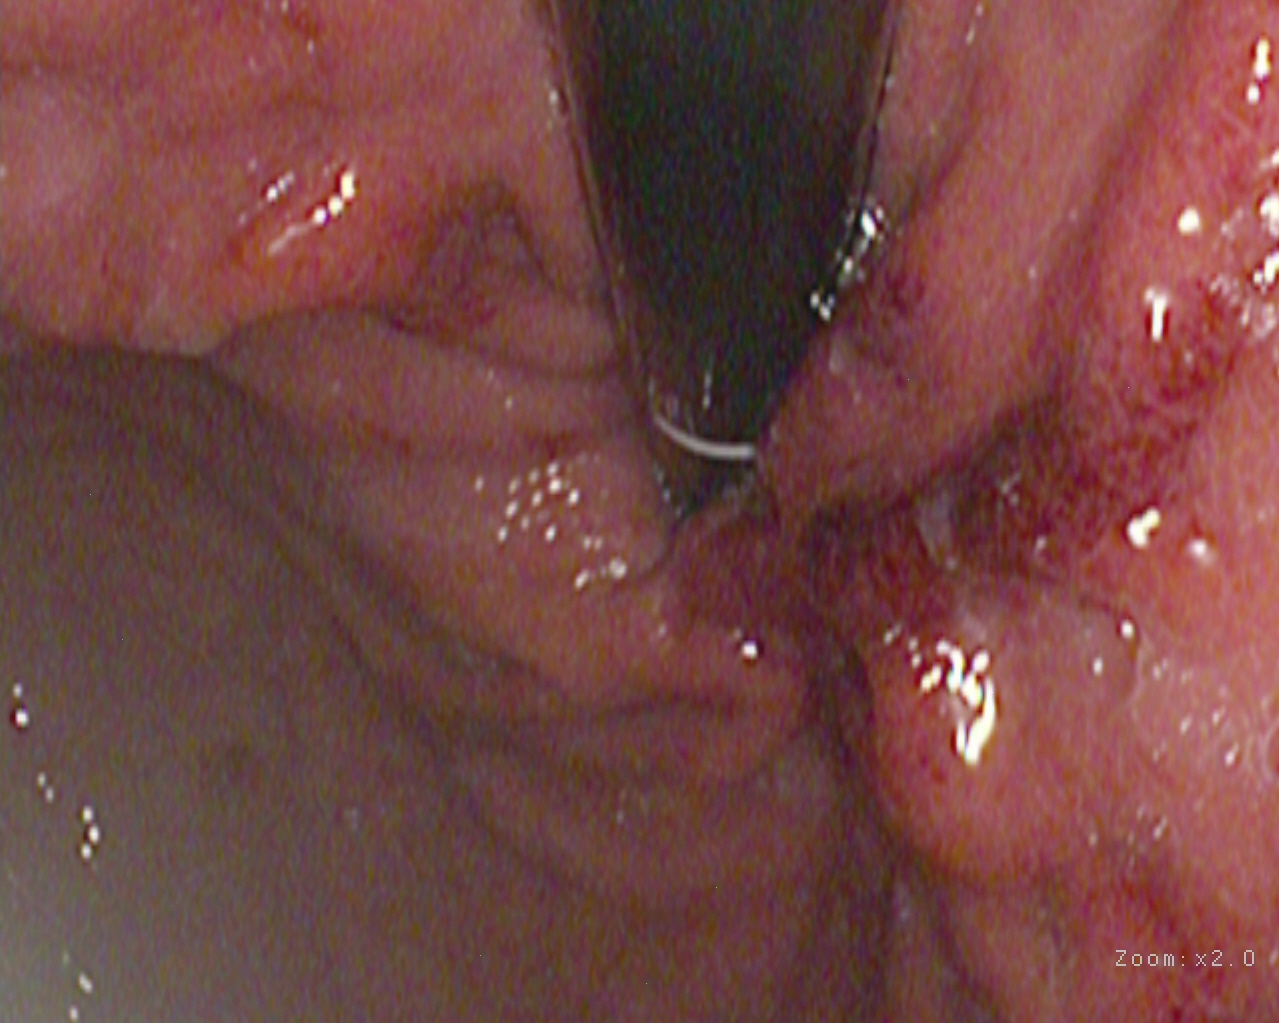modality: upper-GI endoscopy; tract: upper GI tract; finding: stomach in retroflexion